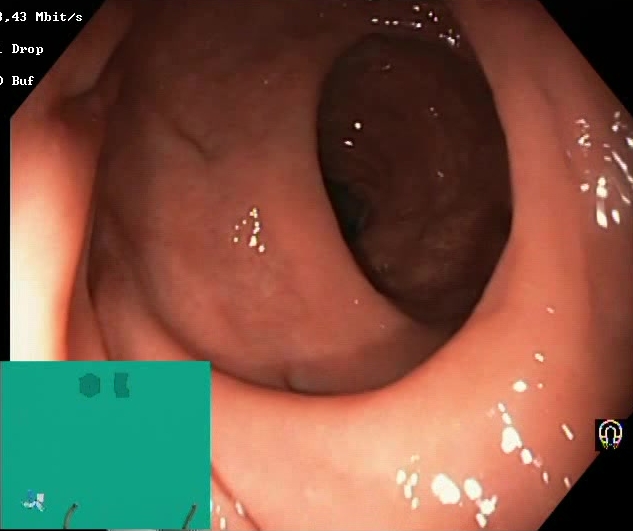modality: colonoscopy | category: mucosal-view quality | finding: Boston Bowel Preparation Scale score 2–3 (adequate preparation)